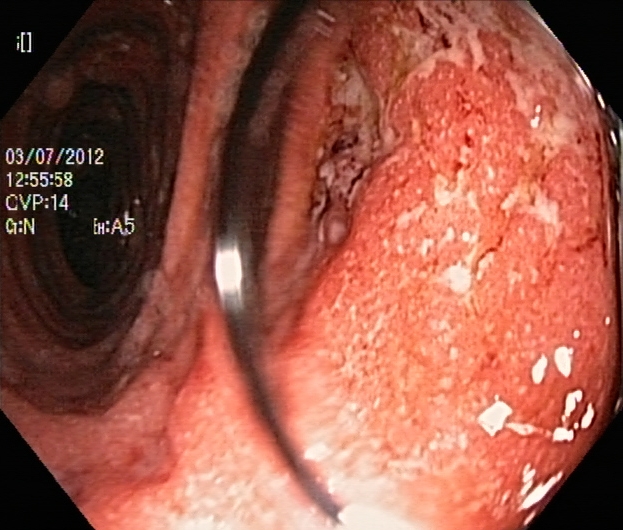This endoscopy frame of the lower GI tract shows UC, Mayo endoscopic subscore 2.